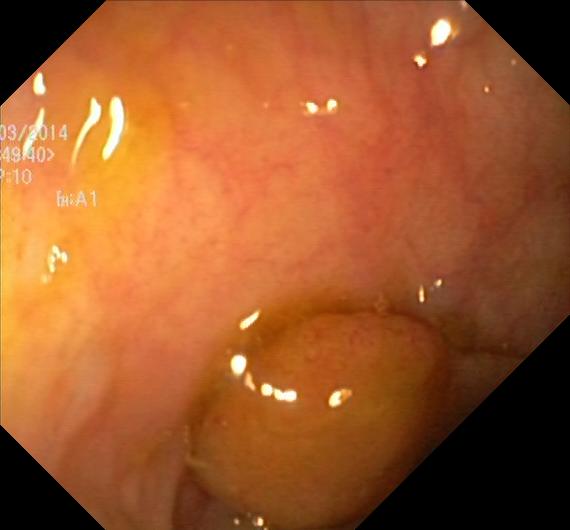modality: lower gastrointestinal endoscopy; finding: colorectal polyp(s)